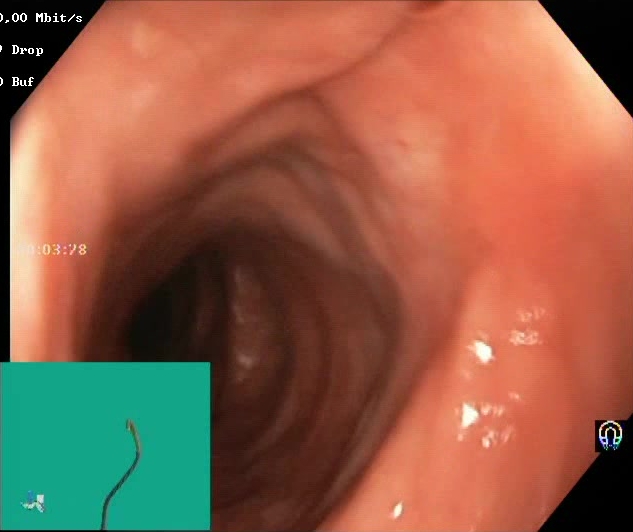Colonoscopy image showing Boston Bowel Preparation Scale score 2–3 (adequate preparation).